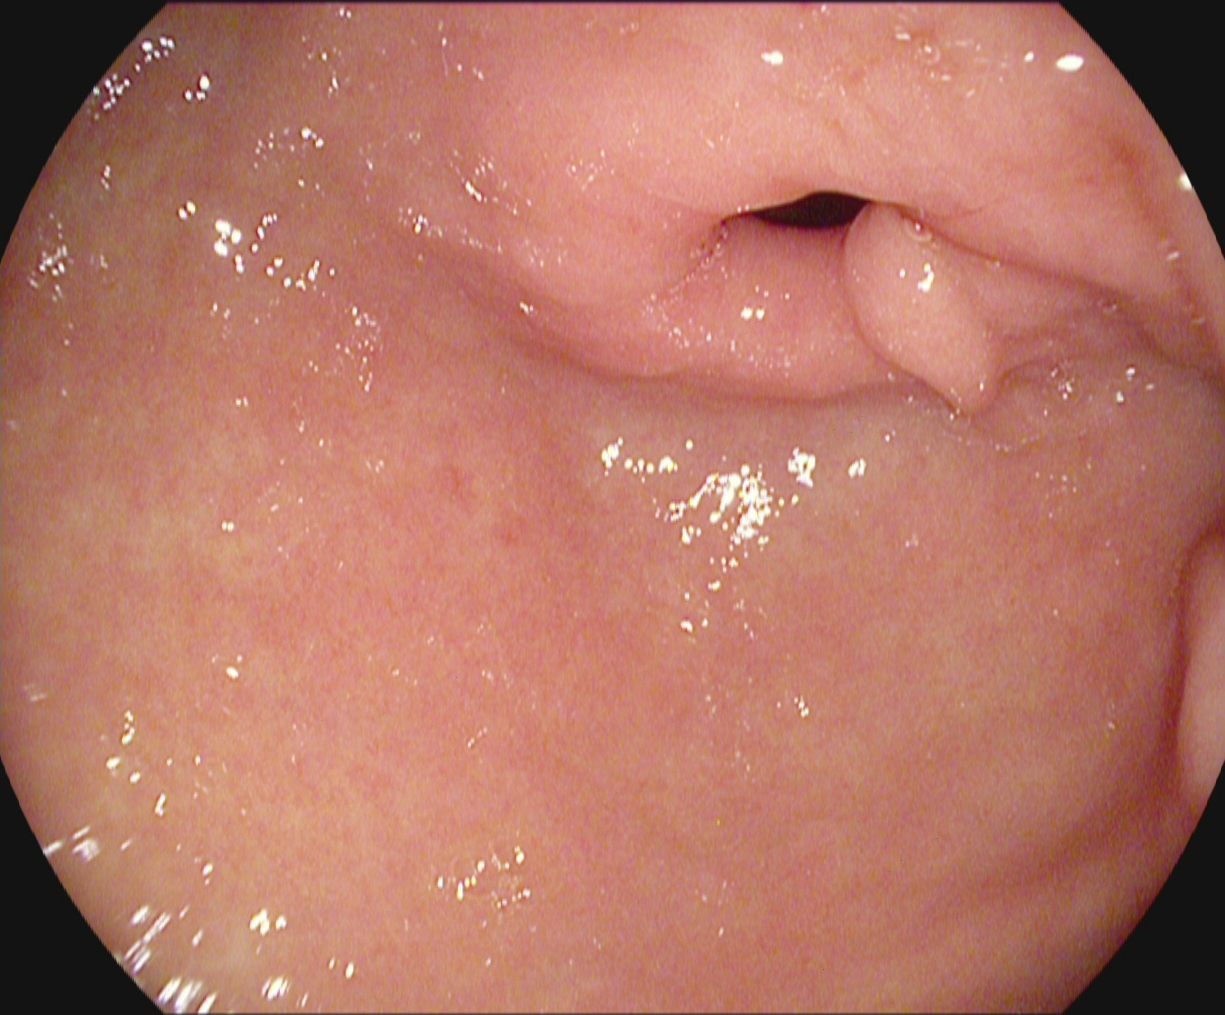This endoscopy frame of the upper GI tract shows pylorus.